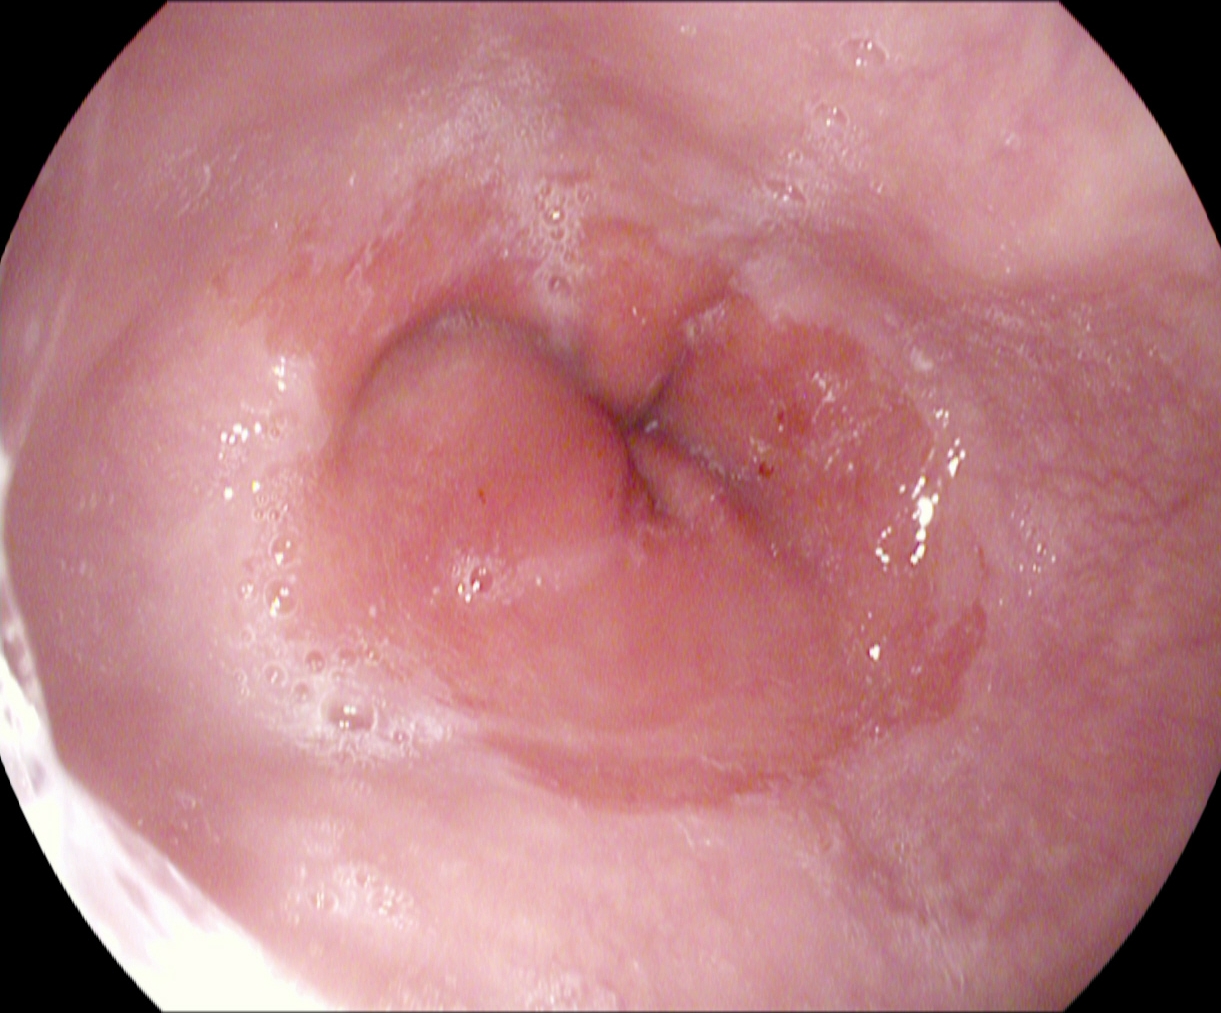Gastroscopy — Z-line (gastroesophageal junction).